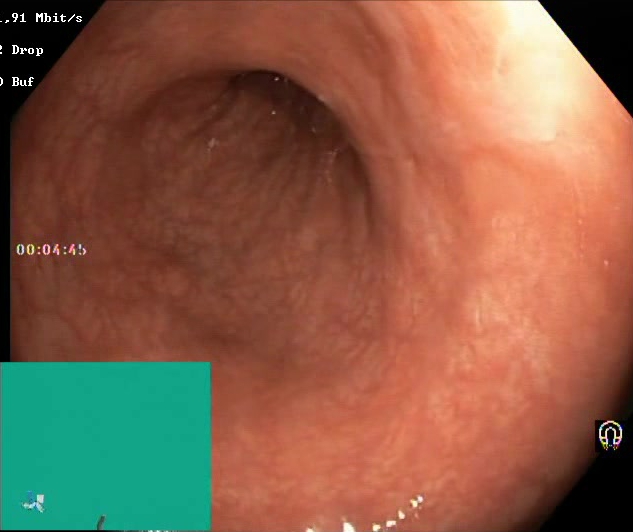Boston Bowel Preparation Scale score 2–3 (adequate preparation).